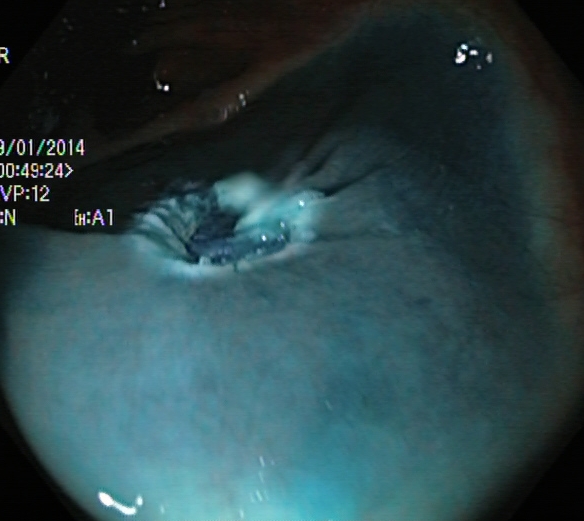{"modality": "lower gastrointestinal endoscopy", "finding": "dyed resection margins (post-polypectomy)"}